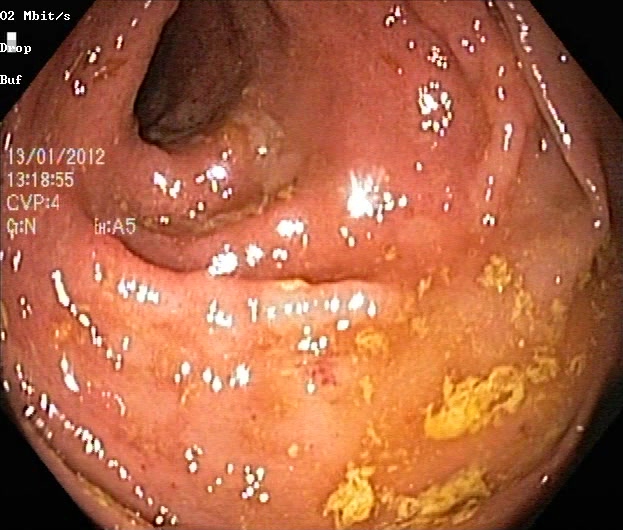Colonoscopy. Tract: lower GI tract. Finding: UC, Mayo endoscopic subscore 2.